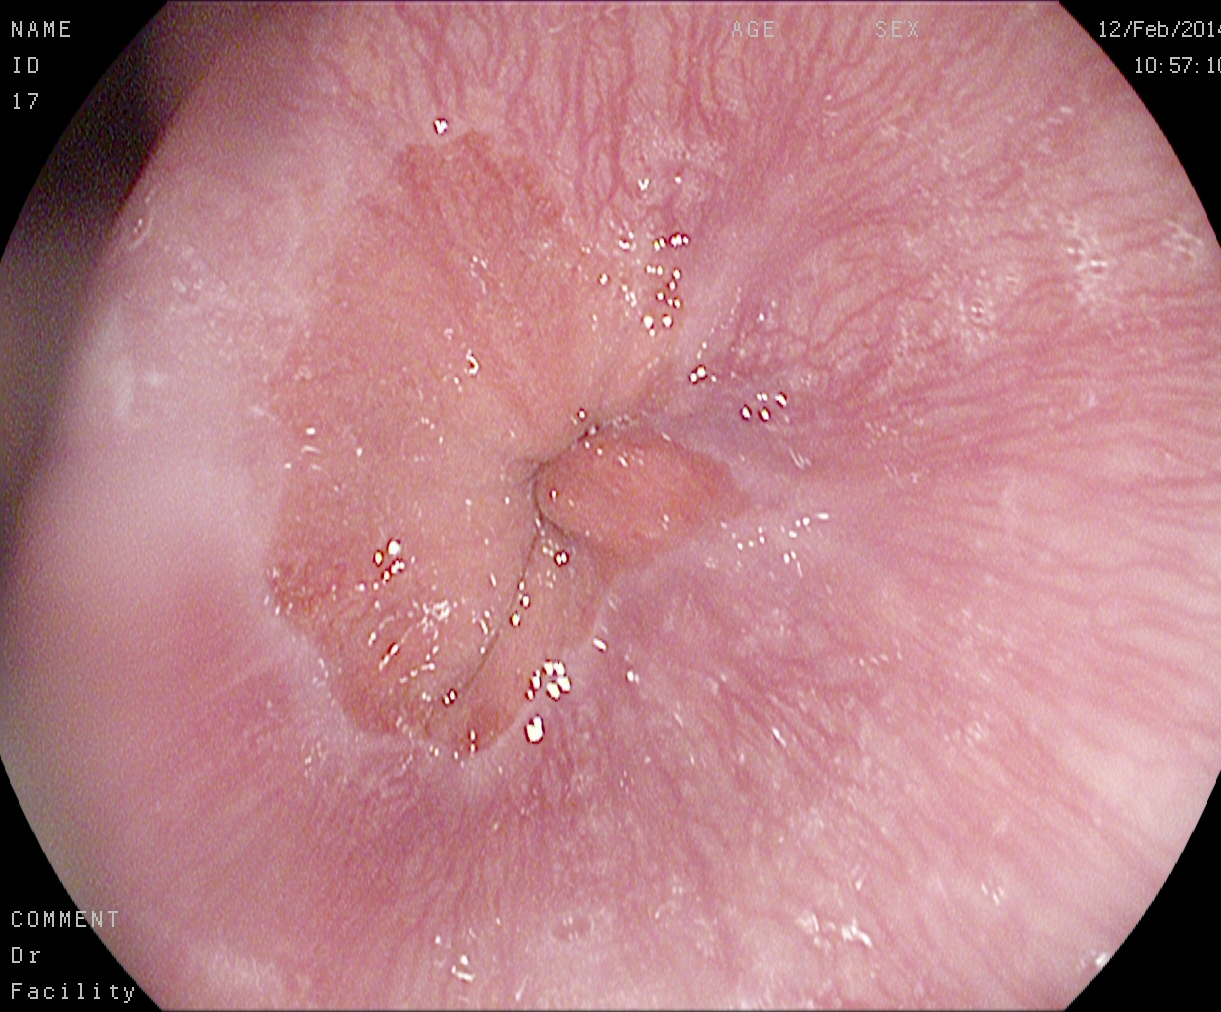modality: upper-GI endoscopy
category: anatomical landmark
finding: Z-line (gastroesophageal junction)